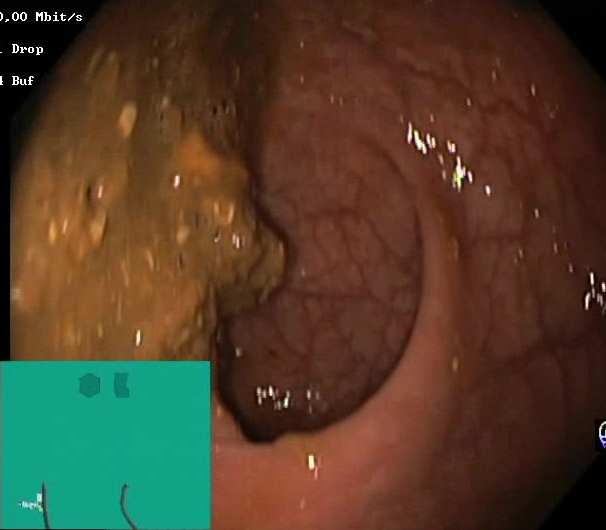modality: colonoscopy | tract: lower GI tract | finding: Boston Bowel Preparation Scale score 0–1 (inadequate preparation)